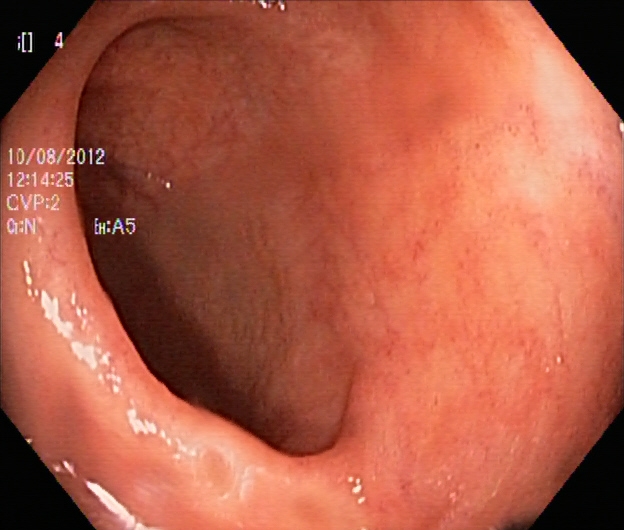This endoscopy frame of the lower GI tract shows ulcerative colitis, Mayo endoscopic subscore 1.